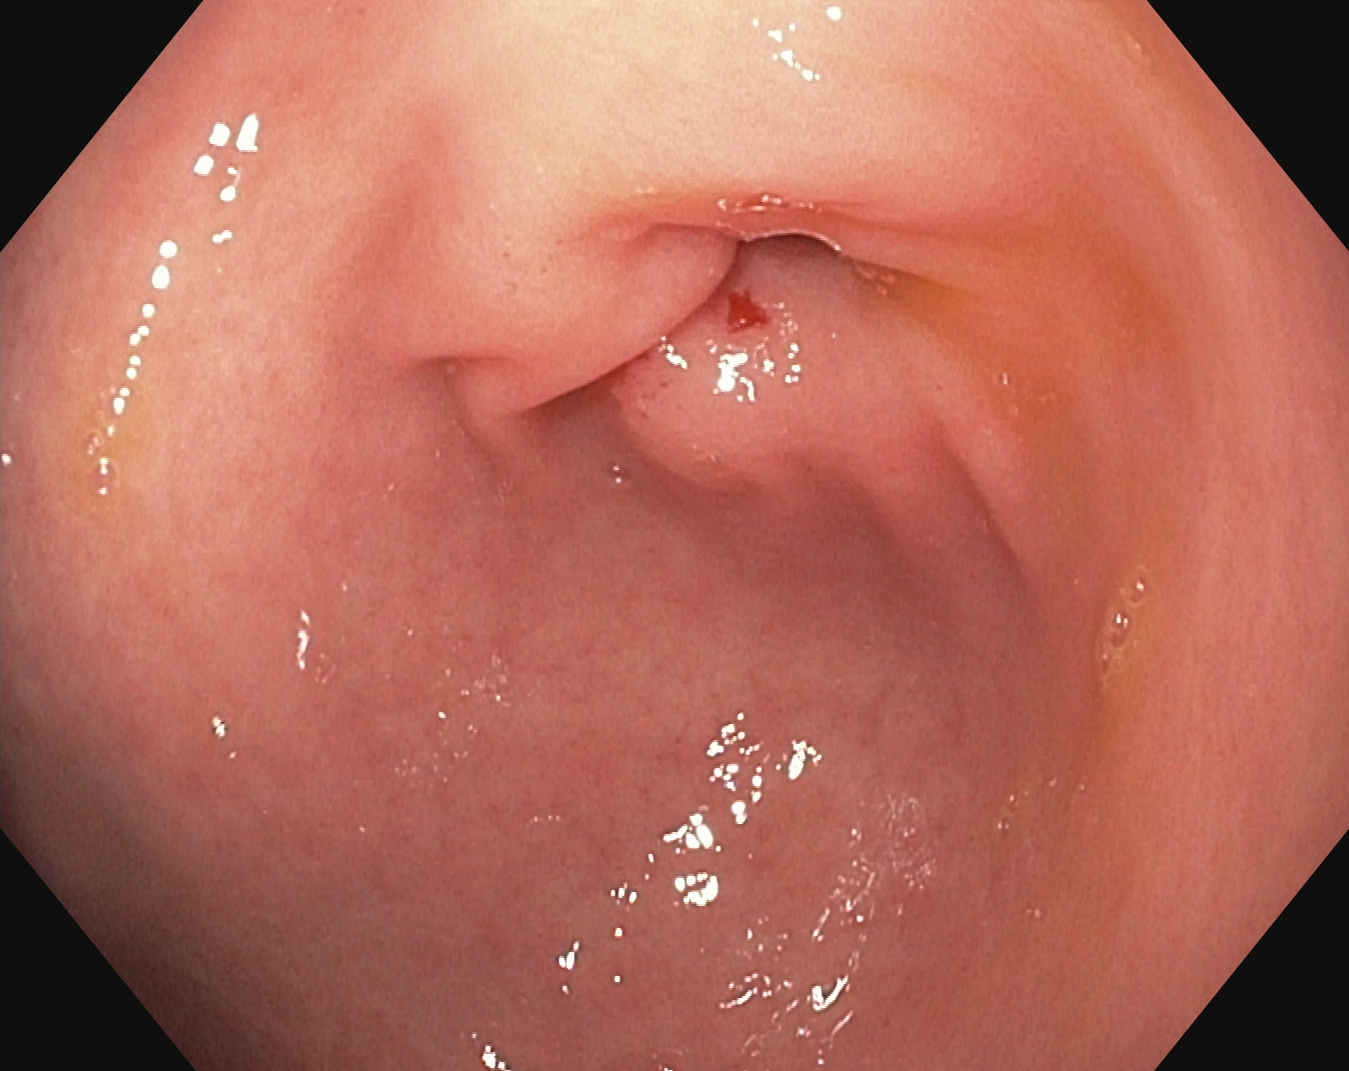PROCEDURE: Esophagogastroduodenoscopy.
FINDINGS: Pylorus.